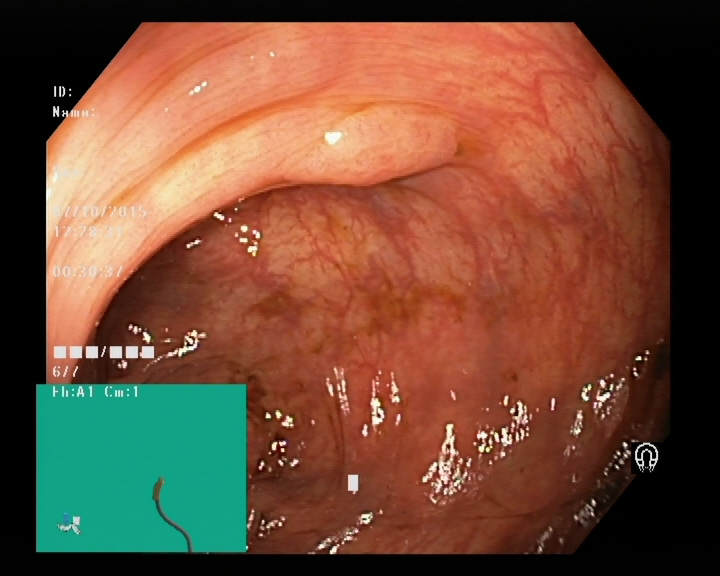modality: lower gastrointestinal endoscopy; tract: lower GI tract; finding: colorectal polyp(s)